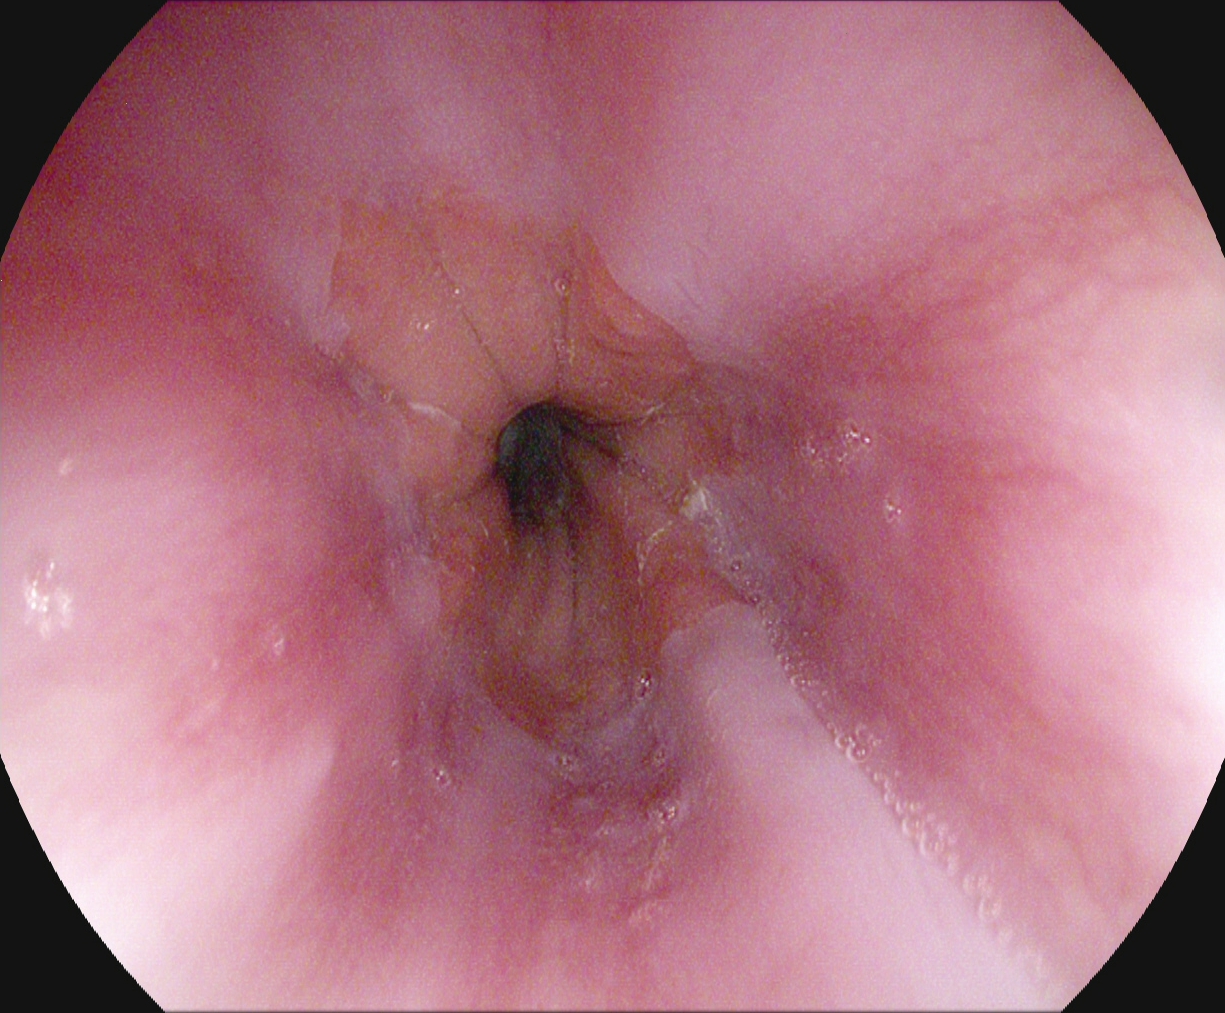GI endoscopy image of the upper GI tract showing Z-line (gastroesophageal junction).